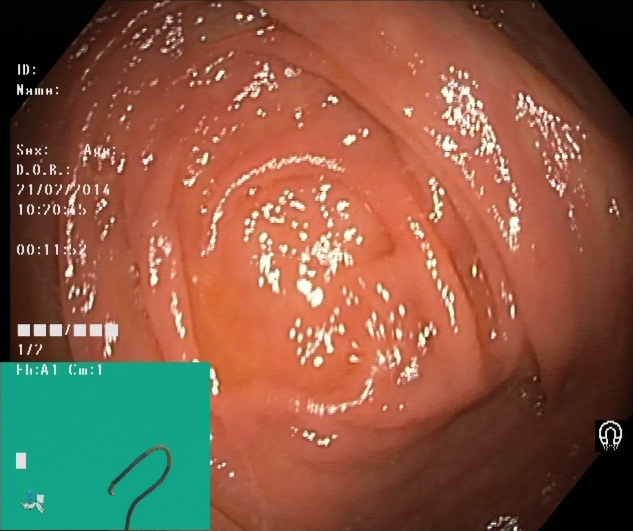This endoscopy frame shows cecum.